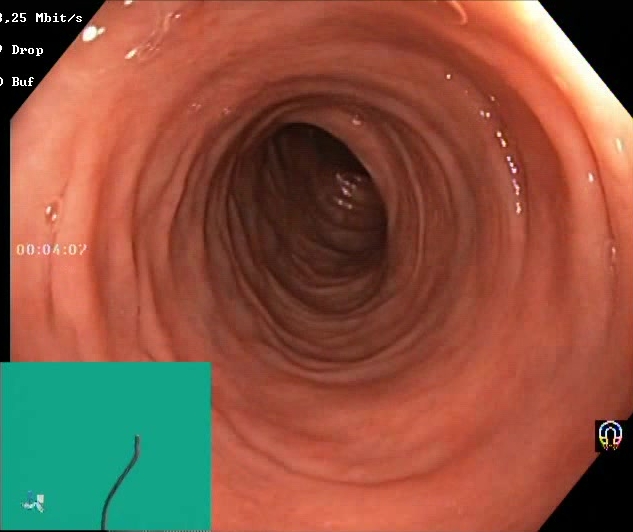Boston Bowel Preparation Scale score 2–3 (adequate preparation).